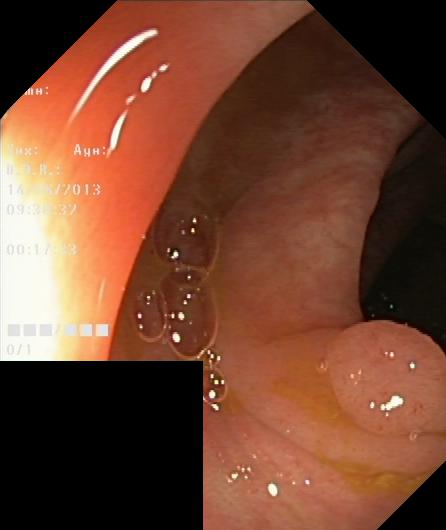modality: lower gastrointestinal endoscopy
tract: lower GI tract
category: pathological finding
finding: colorectal polyp(s)